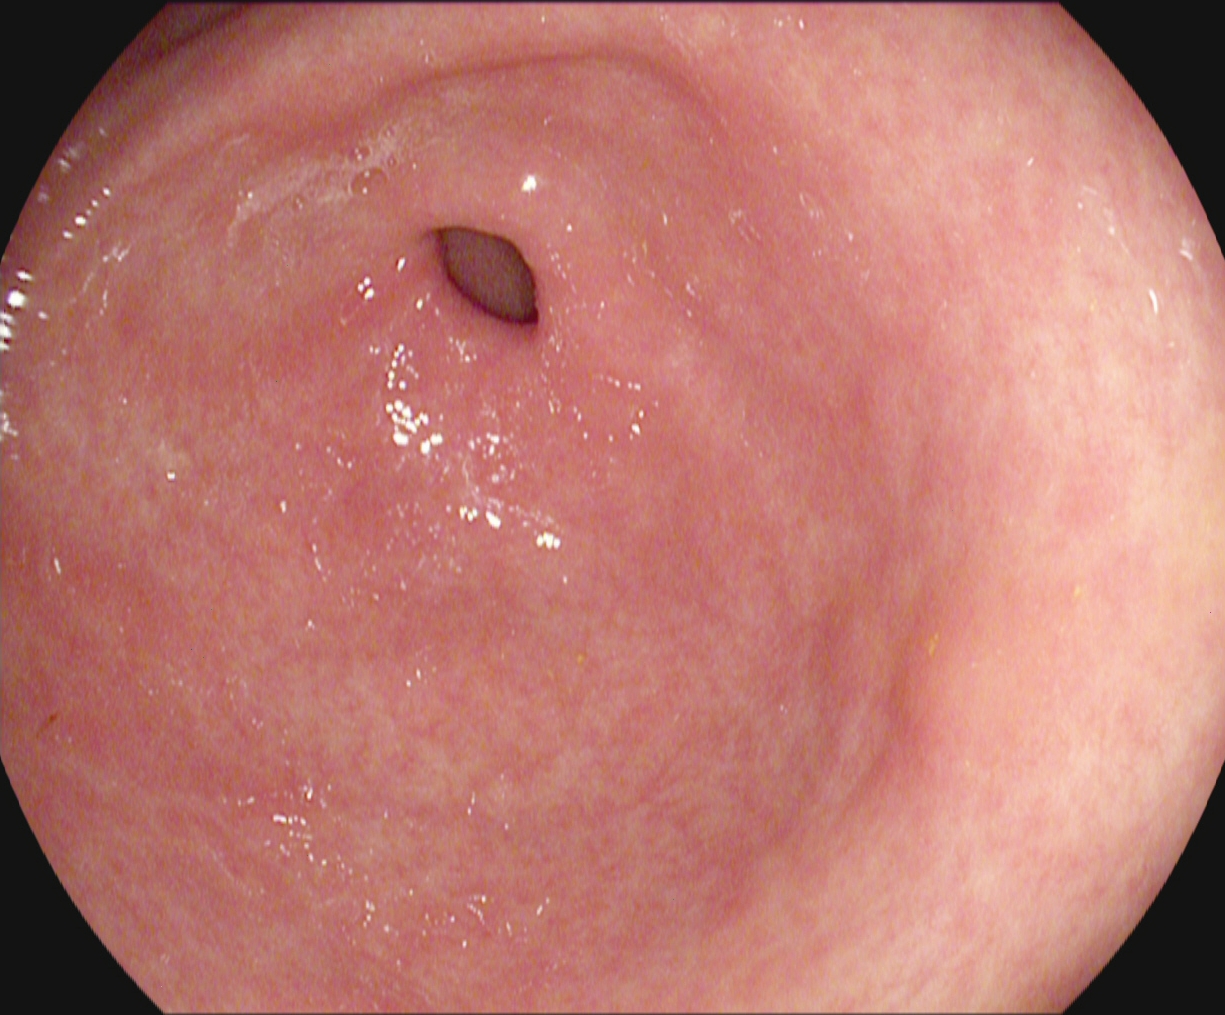Pylorus.